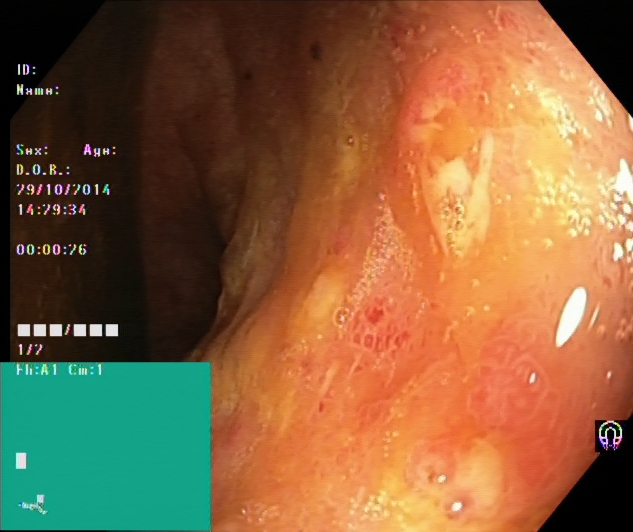PROCEDURE: Lower-GI endoscopy.
FINDINGS: UC, Mayo endoscopic subscore 2.